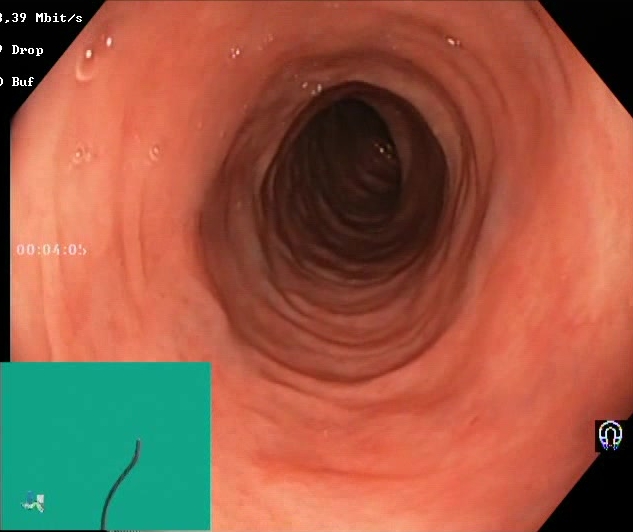This endoscopy frame of the lower GI tract shows Boston Bowel Preparation Scale score 2–3 (adequate preparation).